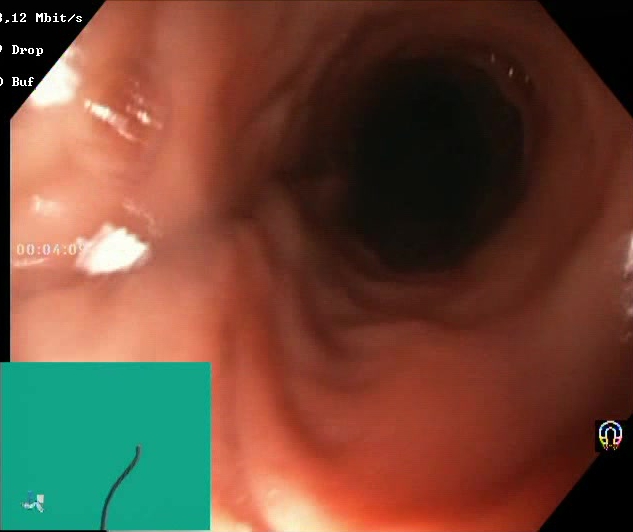BBPS score 2–3 (adequate preparation).